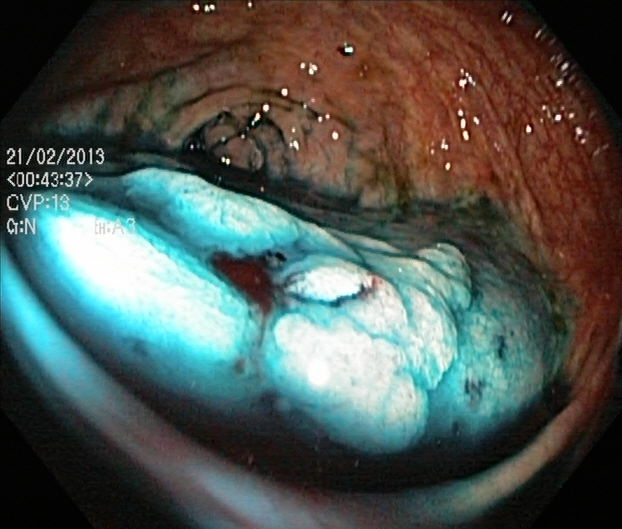This endoscopy frame shows dyed and lifted polyp (pre-resection).